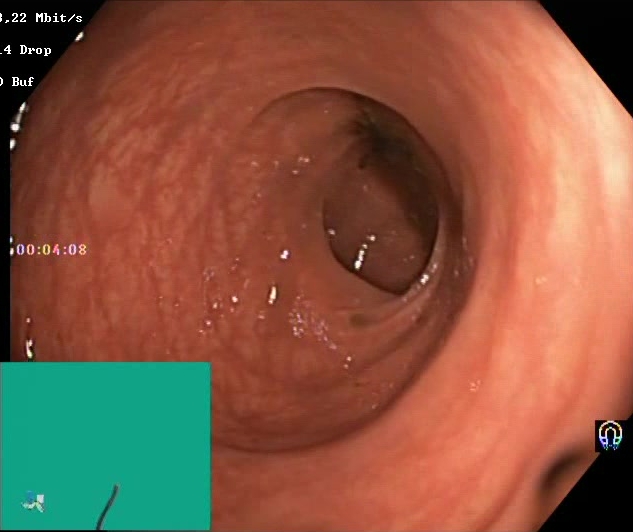PROCEDURE: Lower-GI endoscopy.
CATEGORY: Mucosal-view quality.
FINDINGS: BBPS score 0–1 (inadequate preparation).